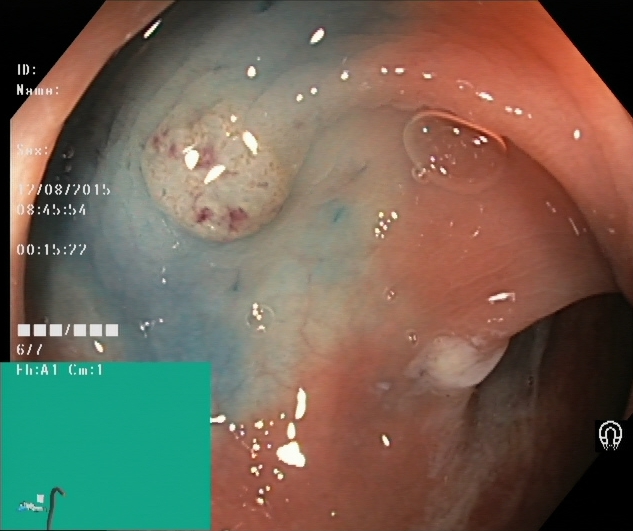Lower-GI endoscopy. Therapeutic intervention. Finding: dyed and lifted polyp (pre-resection).